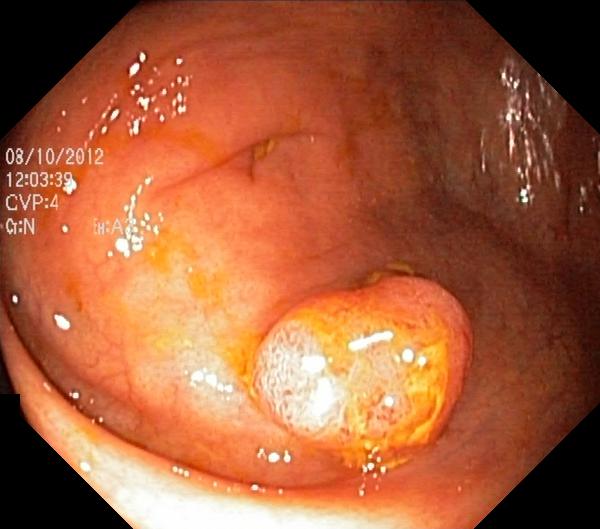This endoscopy frame shows colorectal polyp(s).